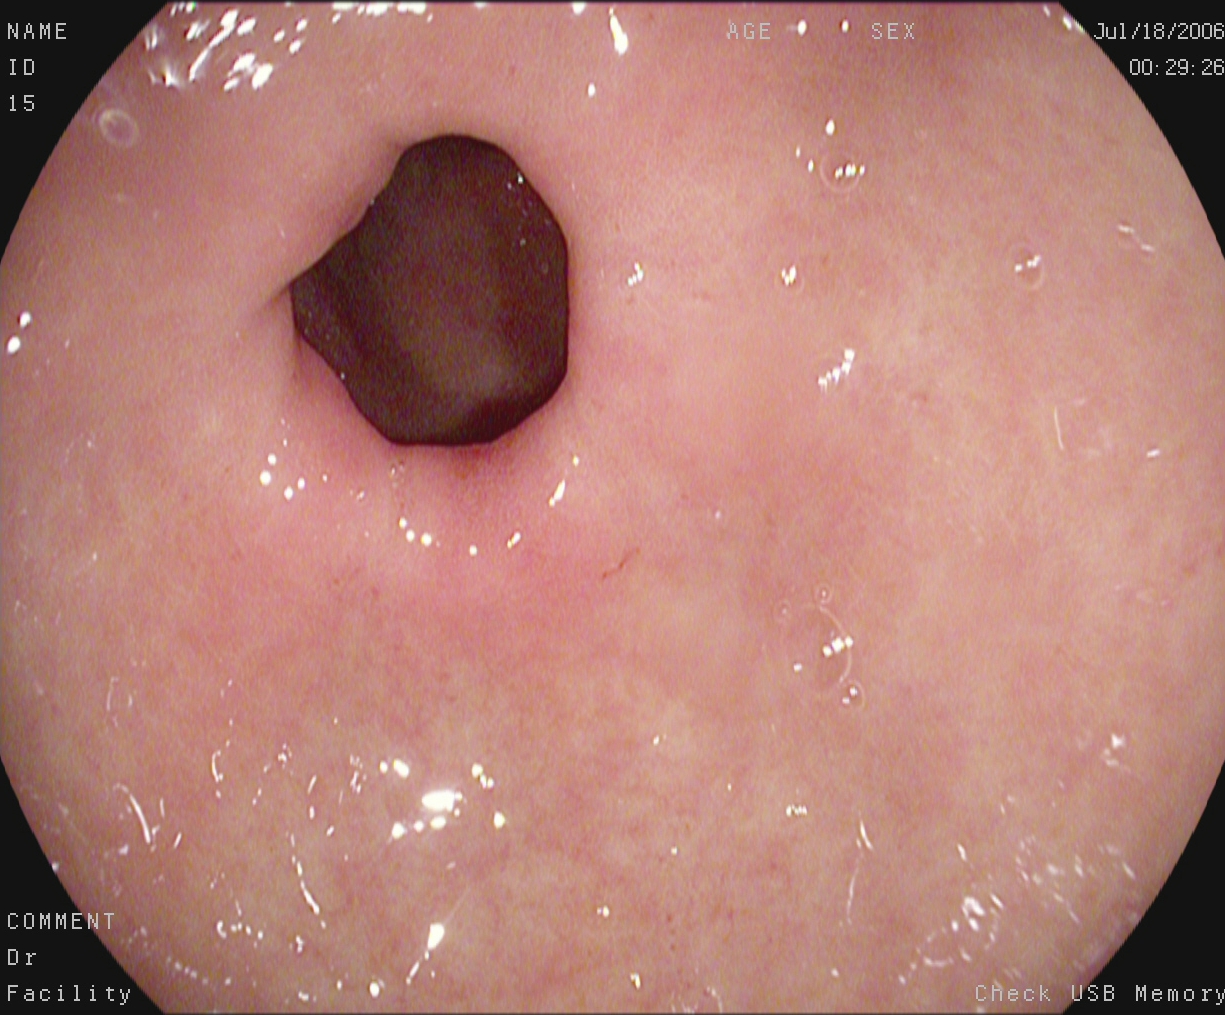This endoscopy frame shows pylorus.